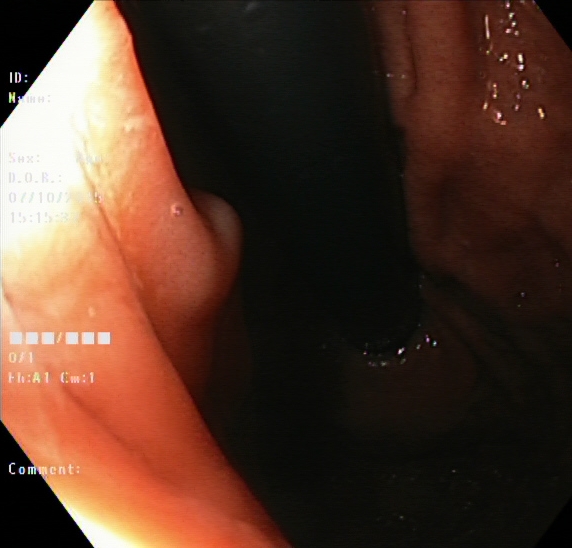EGD — stomach in retroflexion.